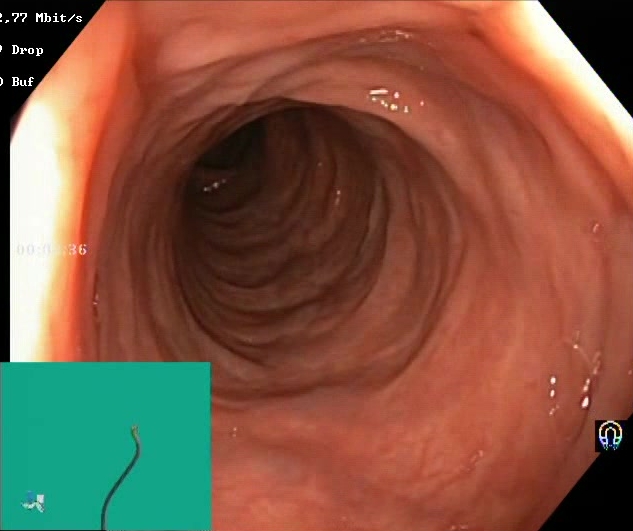This endoscopic image of the lower GI tract shows Boston Bowel Preparation Scale score 2–3 (adequate preparation).